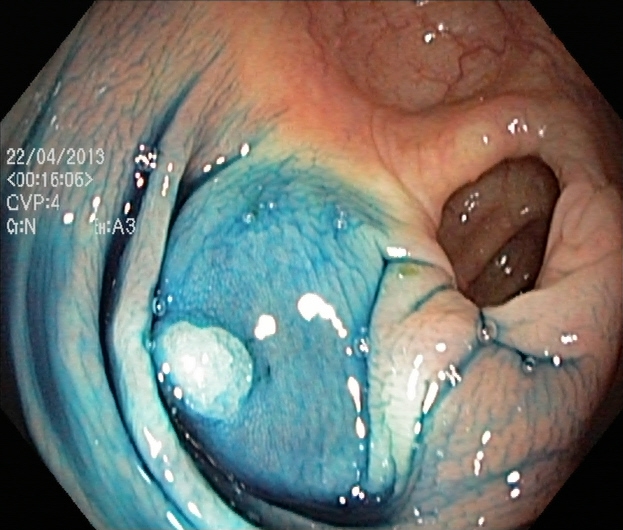Colonoscopy. Tract: lower GI tract. Therapeutic intervention. Finding: dyed and lifted polyp (pre-resection).